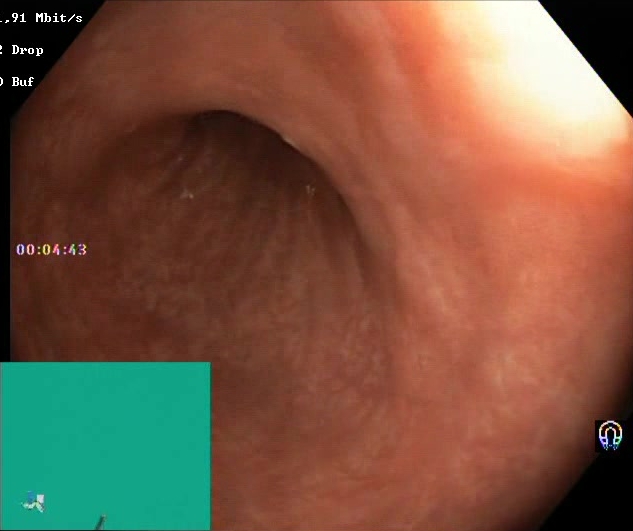{"modality": "lower-GI endoscopy", "category": "mucosal-view quality", "finding": "Boston Bowel Preparation Scale score 2\u20133 (adequate preparation)"}